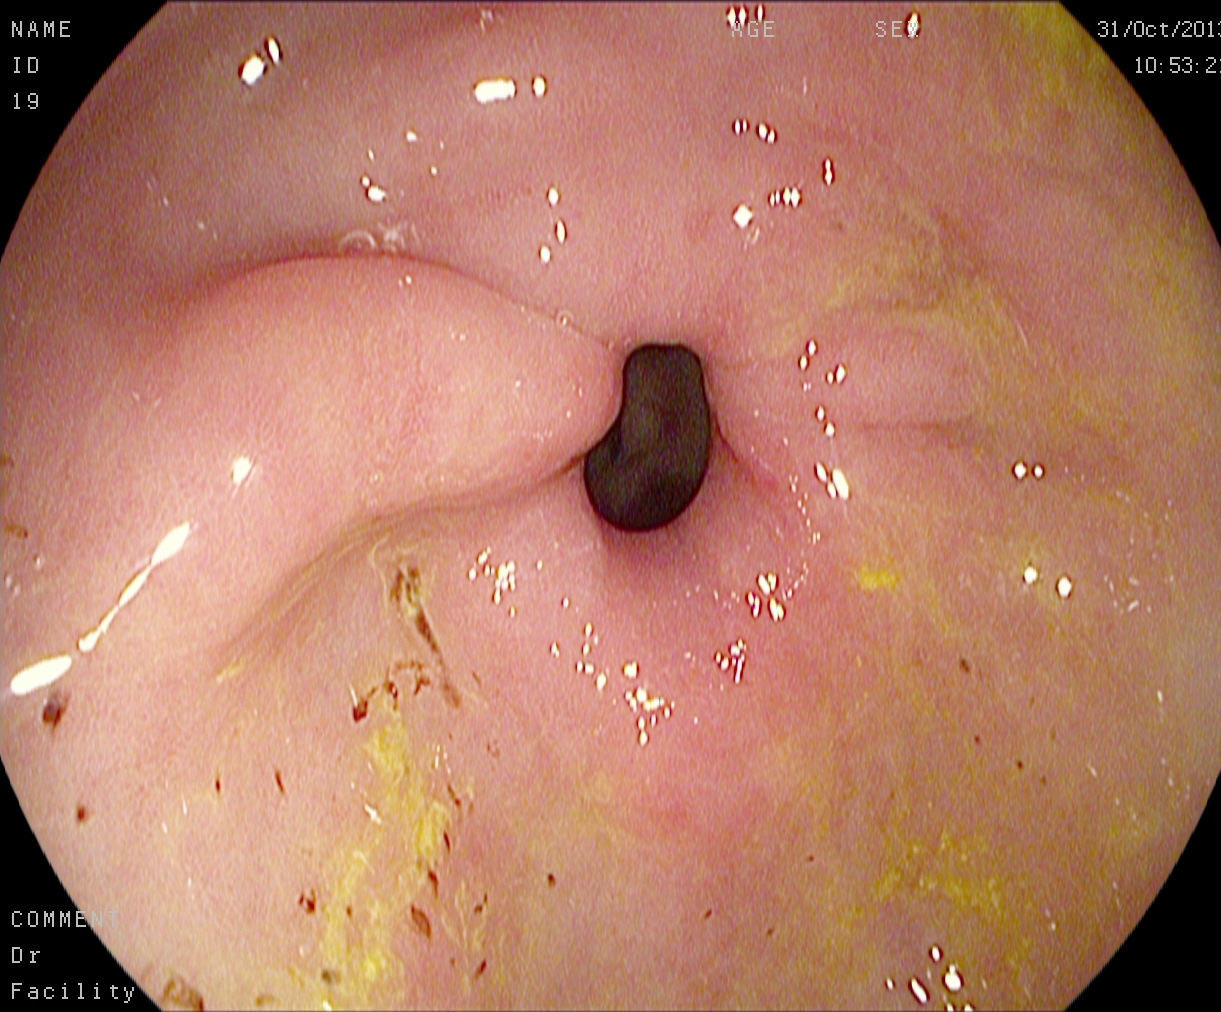modality: EGD | tract: upper GI tract | category: anatomical landmark | finding: pylorus